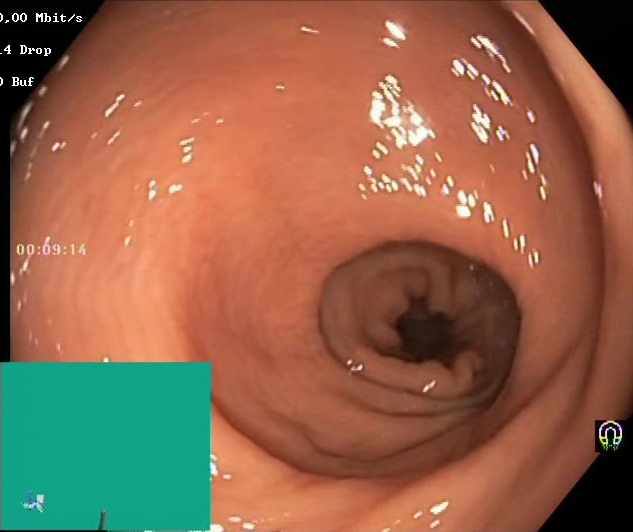{"modality": "colonoscopy", "tract": "lower GI tract", "category": "mucosal-view quality", "finding": "BBPS score 2\u20133 (adequate preparation)"}